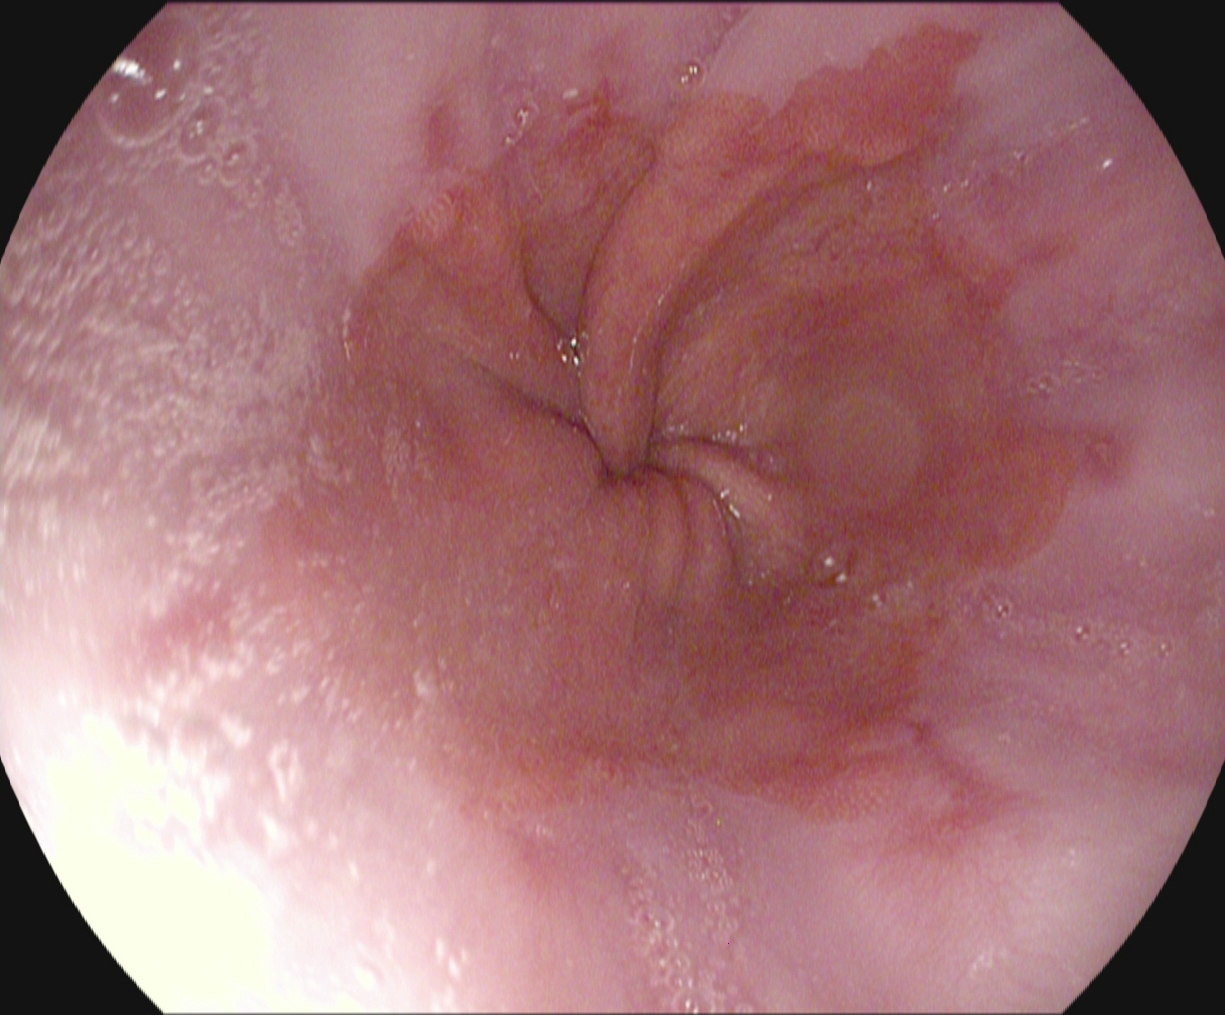modality: esophagogastroduodenoscopy | category: pathological finding | finding: reflux esophagitis, Los Angeles grade A